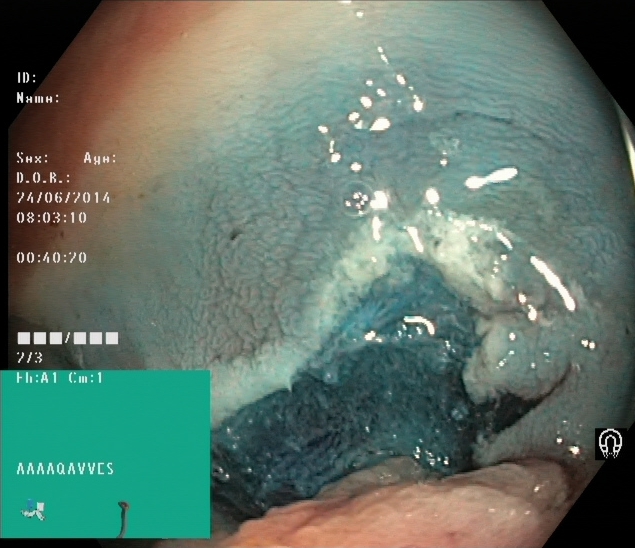modality: lower gastrointestinal endoscopy; tract: lower GI tract; finding: dyed resection margins (post-polypectomy)